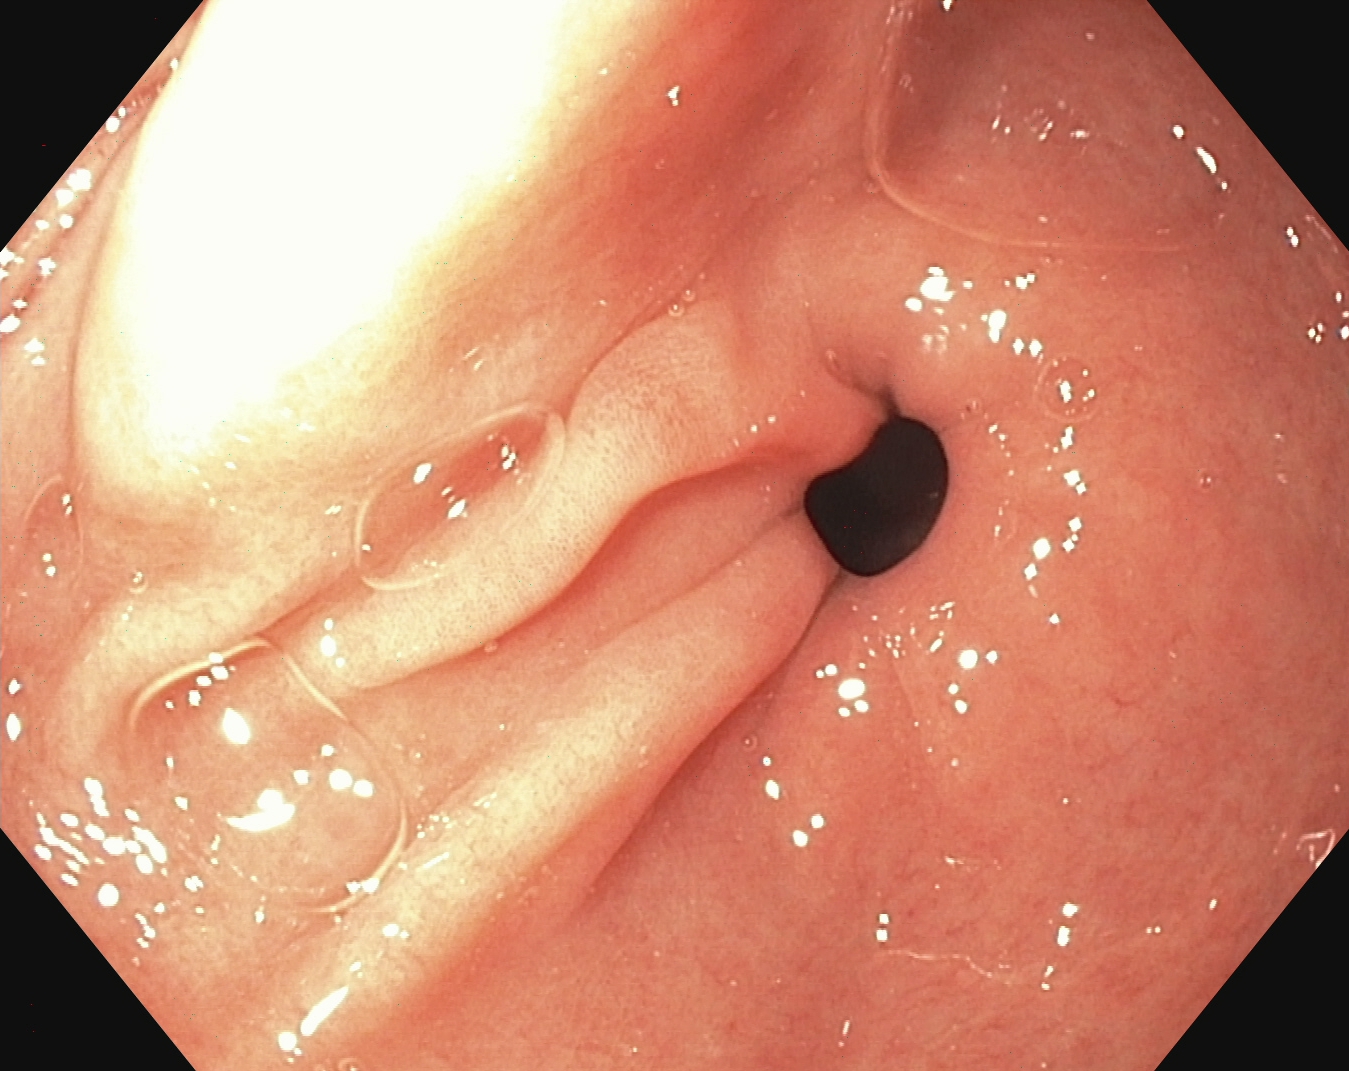Pylorus.